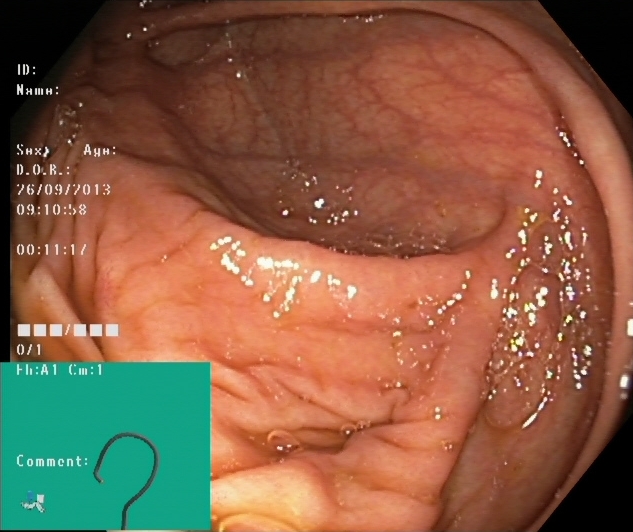{"modality": "lower-GI endoscopy", "tract": "lower GI tract", "finding": "cecum"}